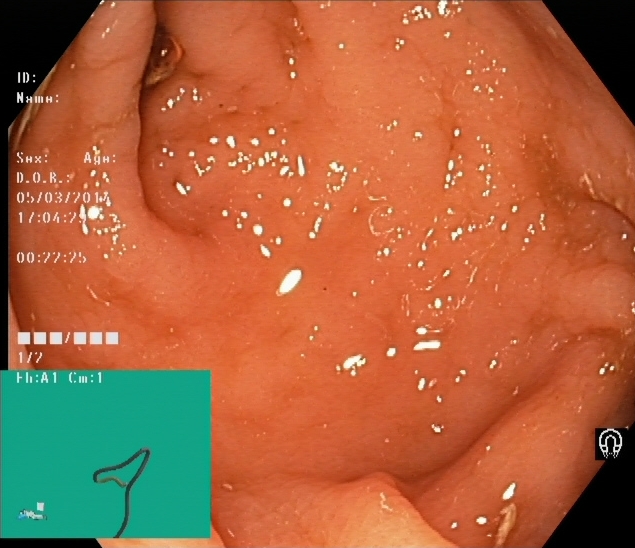Cecum.